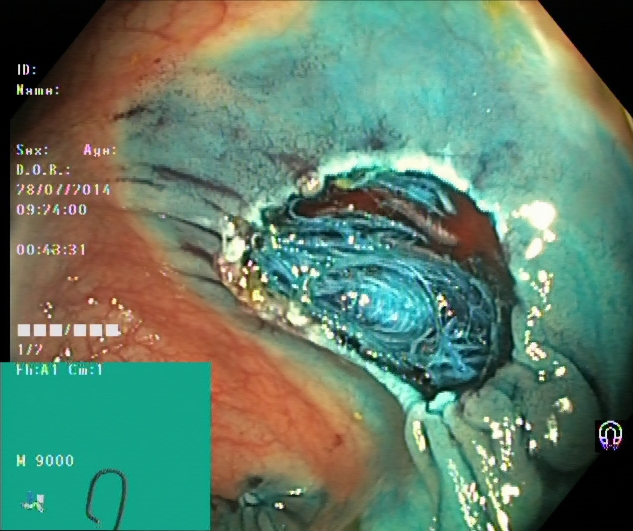PROCEDURE: Lower-GI endoscopy.
FINDINGS: Dyed resection margins (post-polypectomy).